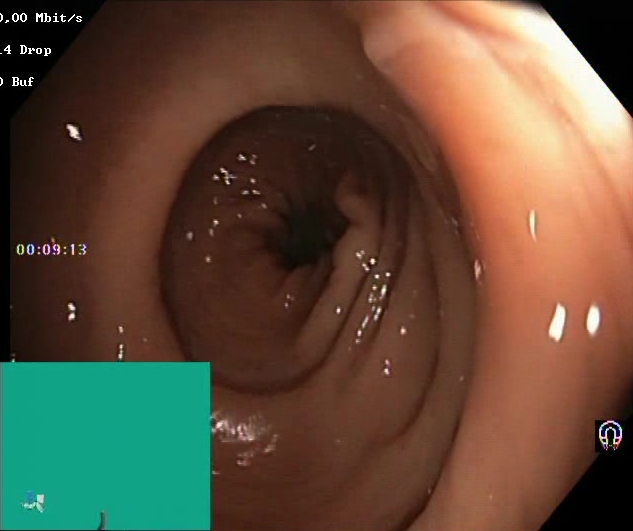modality: lower gastrointestinal endoscopy; category: mucosal-view quality; finding: Boston Bowel Preparation Scale score 2–3 (adequate preparation)